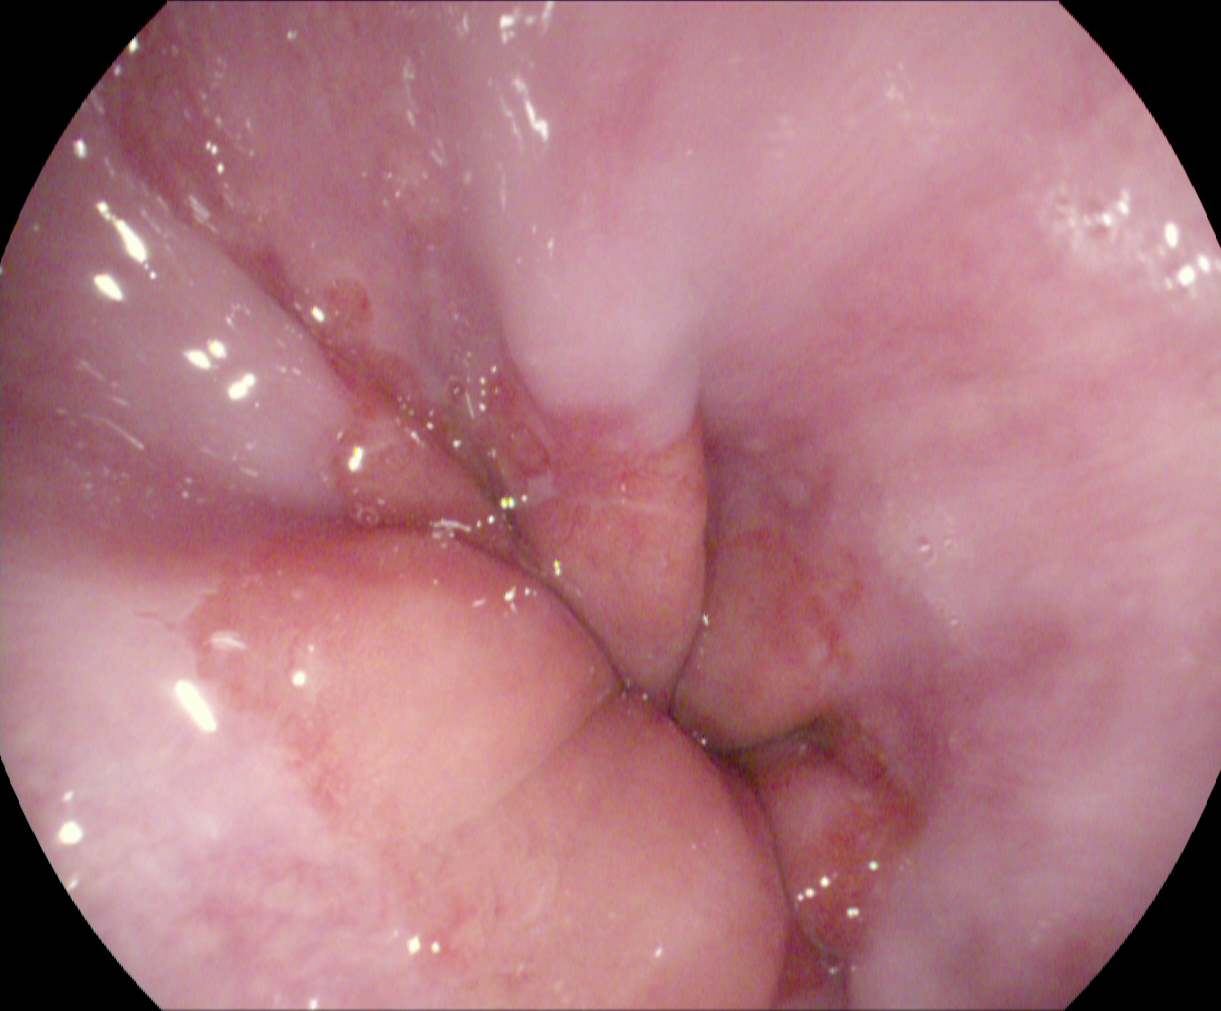modality: esophagogastroduodenoscopy; finding: reflux esophagitis, LA grade A